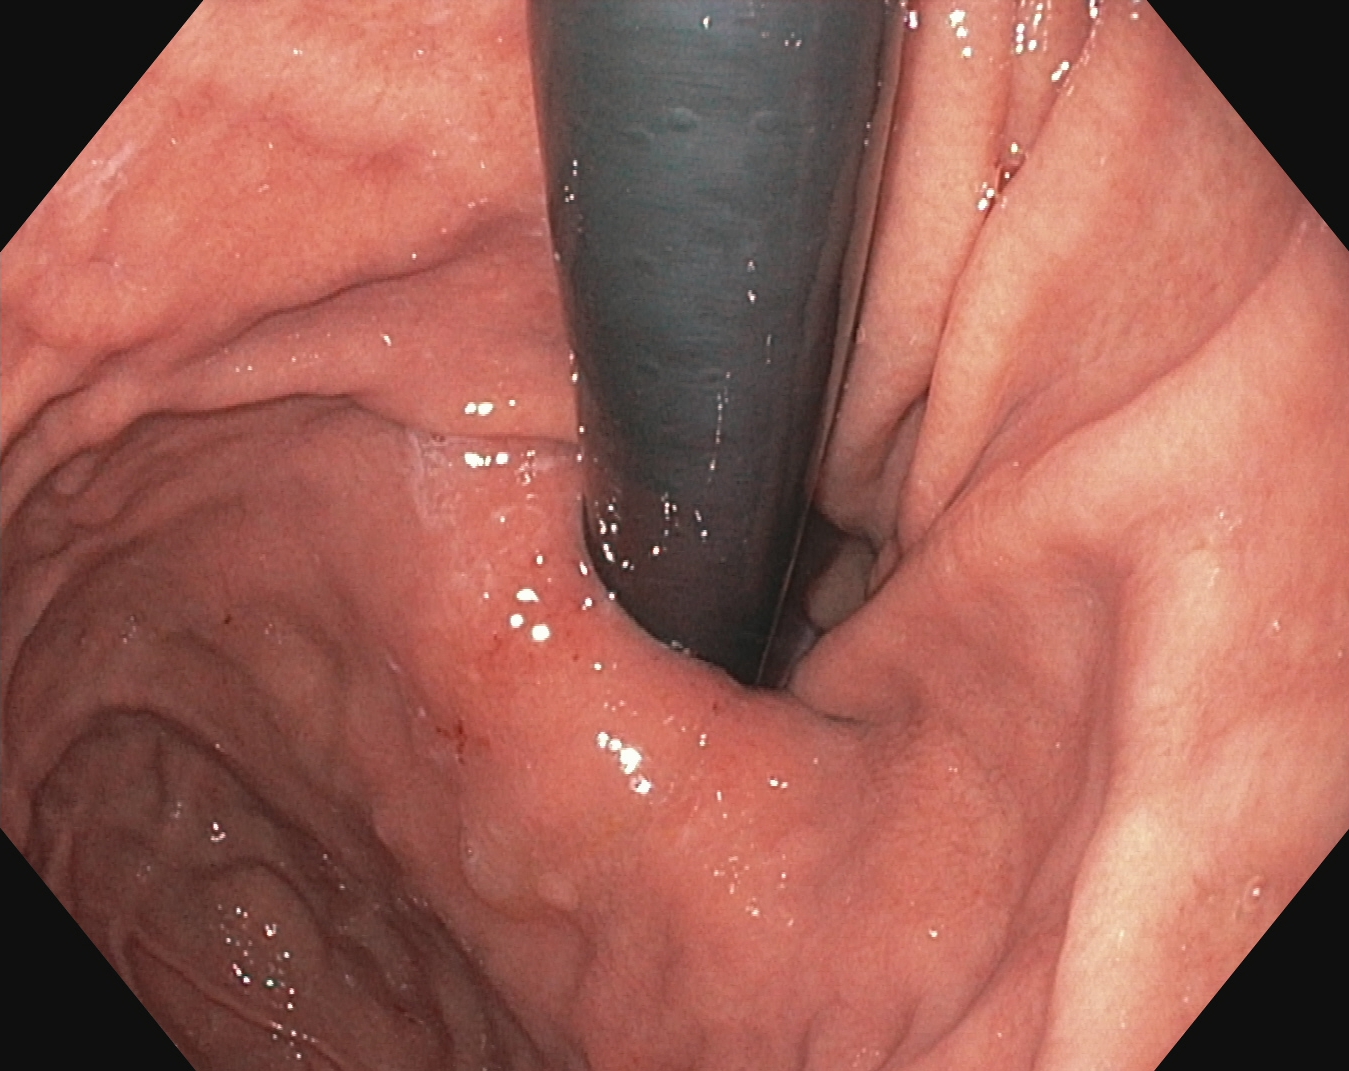Gastroscopy image showing stomach in retroflexion.